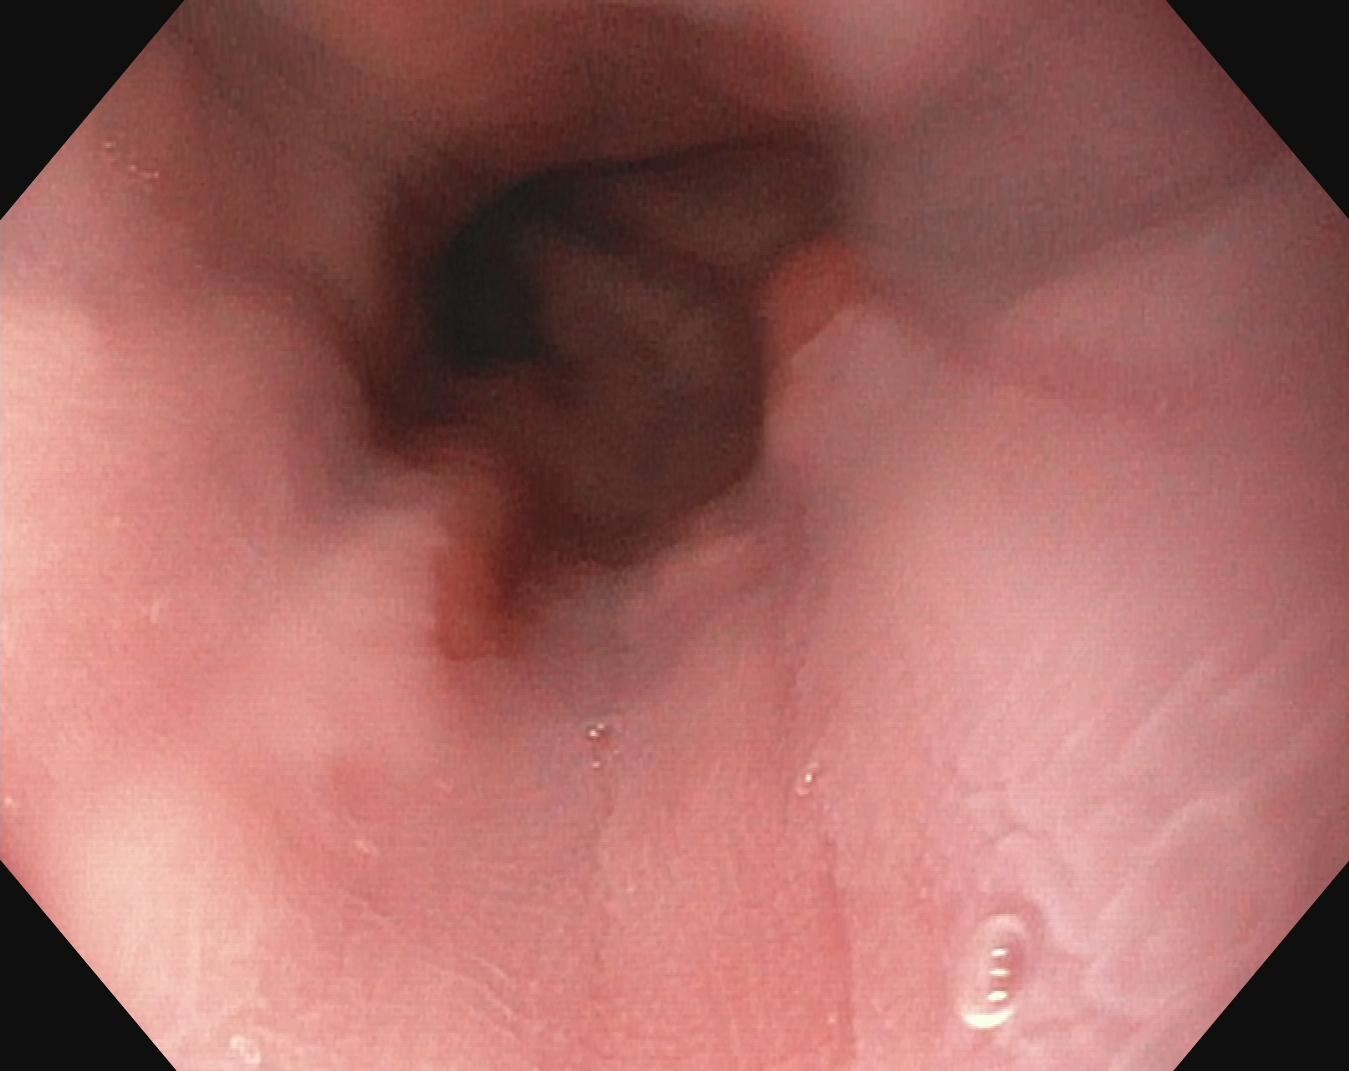EGD image showing Z-line (gastroesophageal junction).